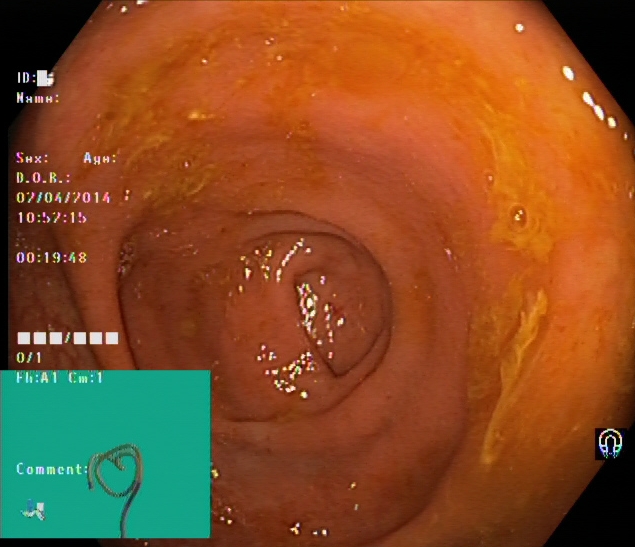modality: lower-GI endoscopy; category: anatomical landmark; finding: cecum